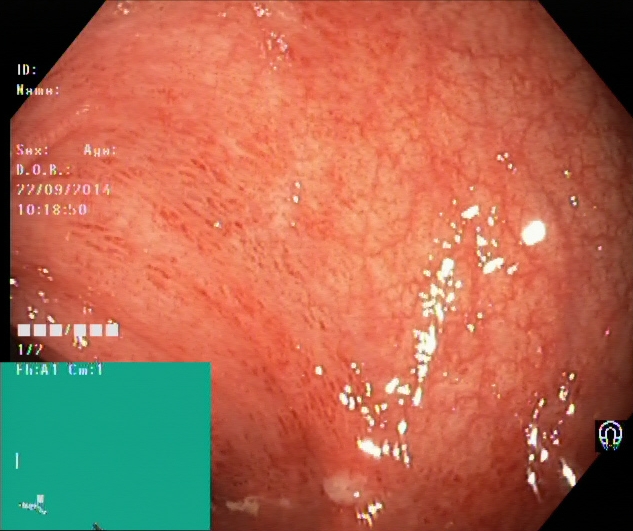ulcerative colitis, Mayo endoscopic subscore 1.